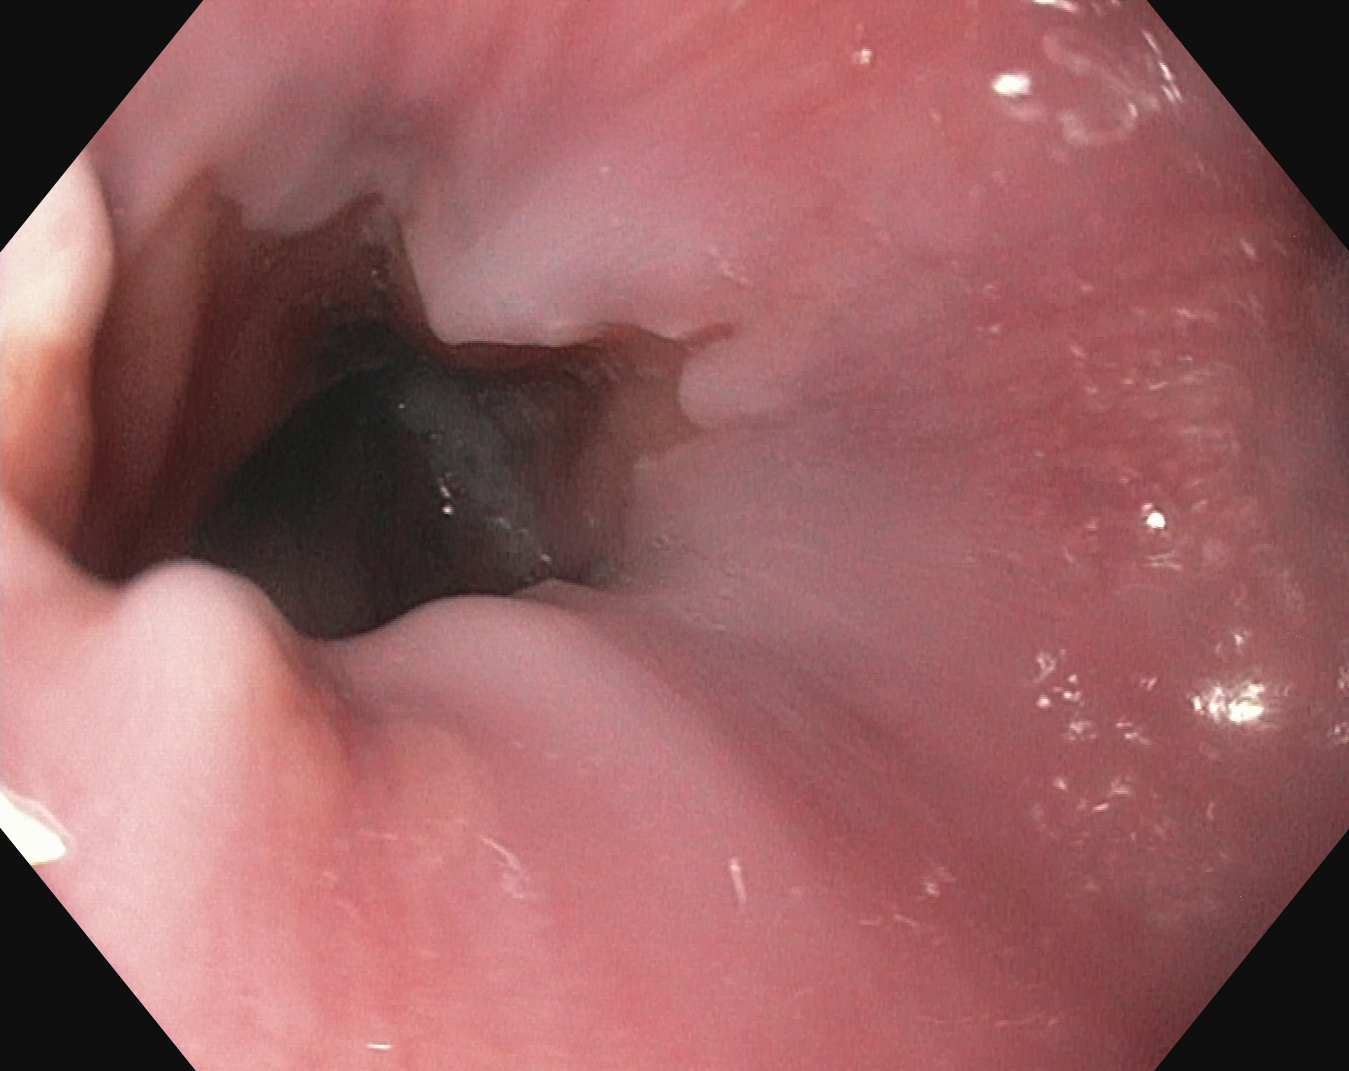Z-line (gastroesophageal junction).